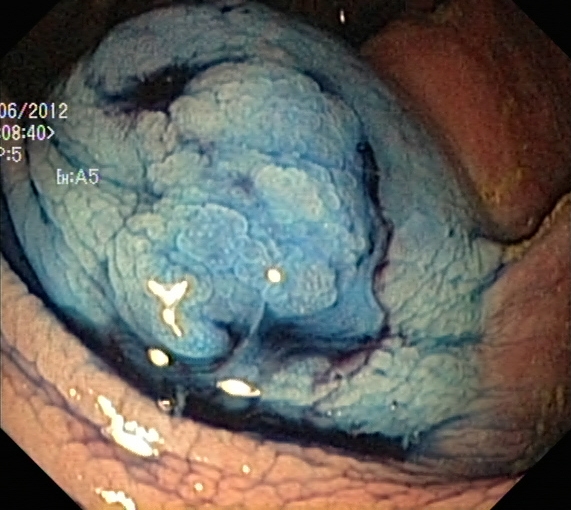modality: lower-GI endoscopy; category: therapeutic intervention; finding: dyed and lifted polyp (pre-resection)